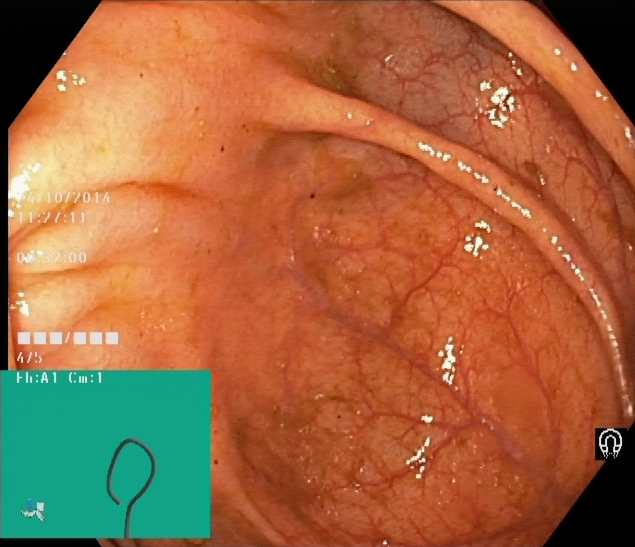This endoscopy frame shows cecum.